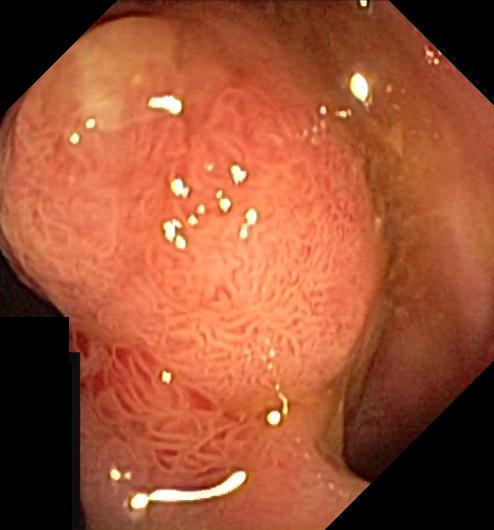Colonoscopy — colorectal polyp(s).